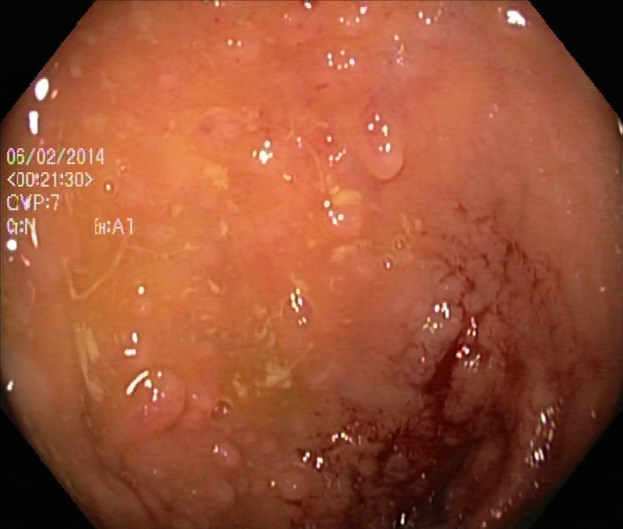Colonoscopy. Finding: ulcerative colitis, Mayo endoscopic subscore 2.